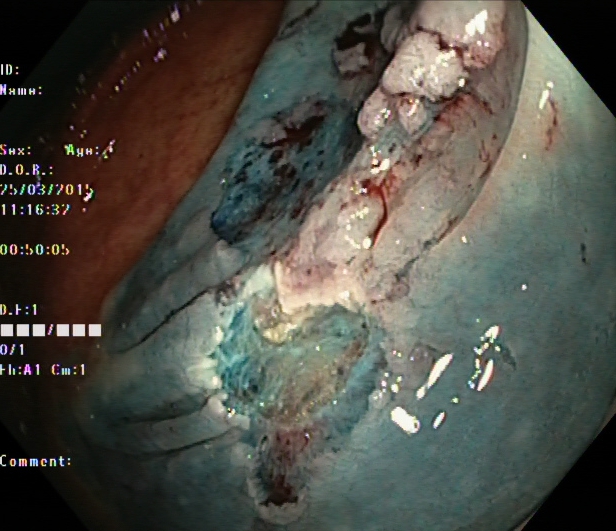Lower gastrointestinal endoscopy — dyed resection margins (post-polypectomy).